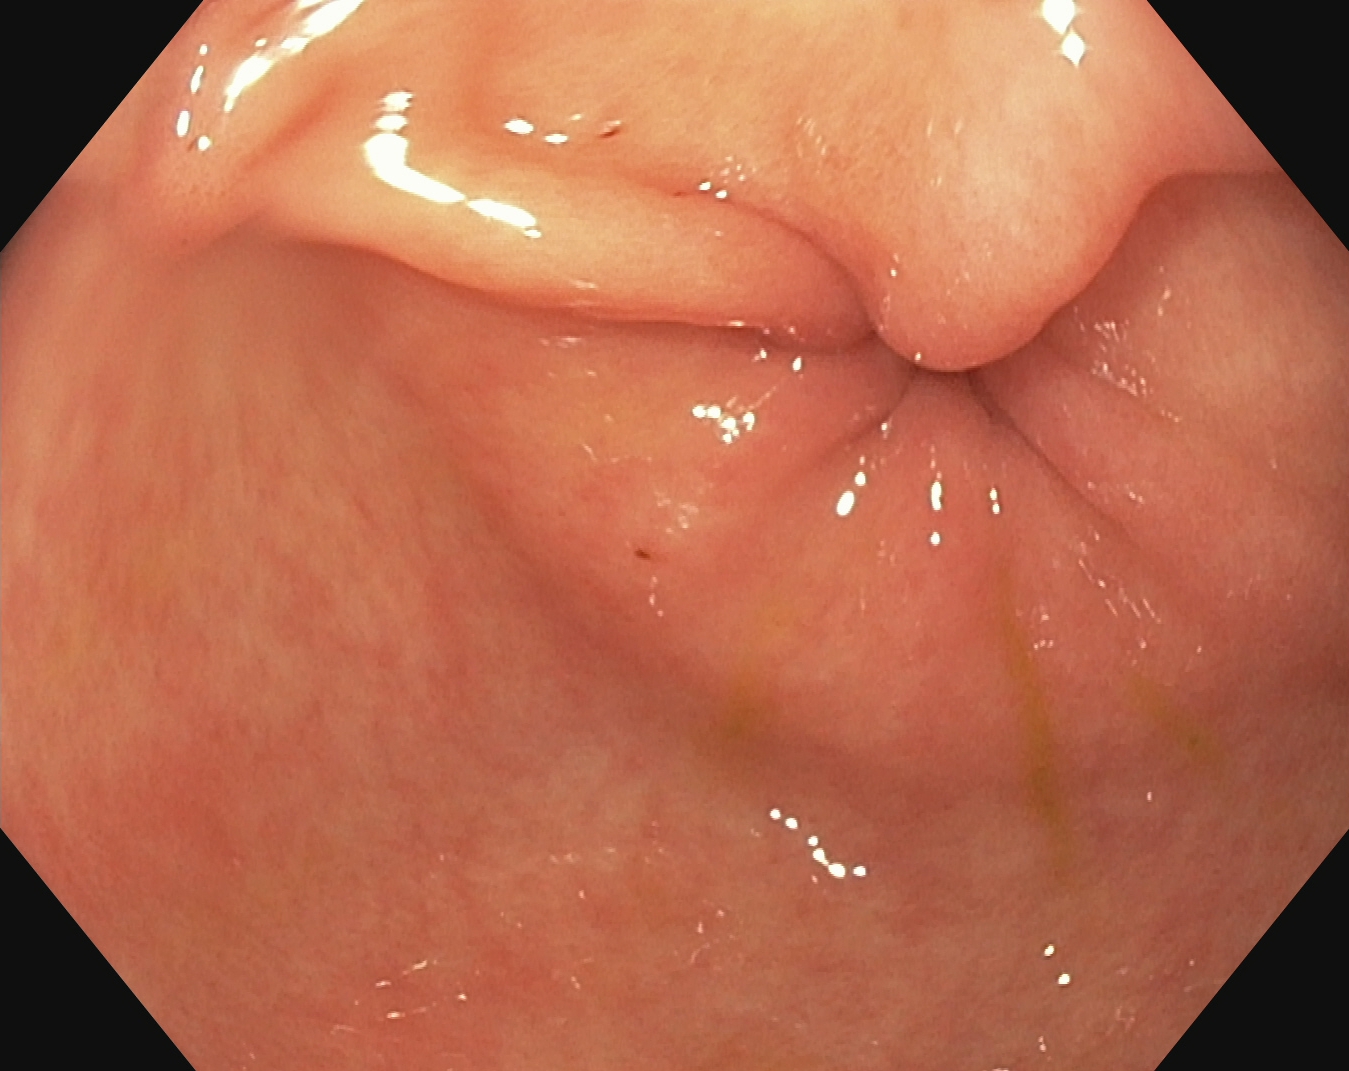Gastroscopy — pylorus.